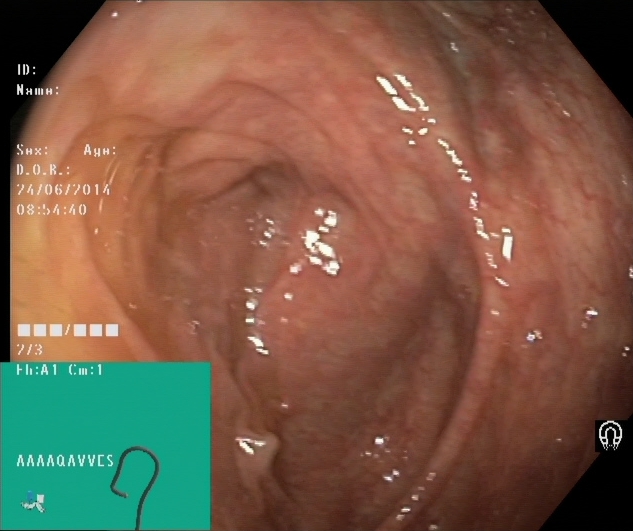PROCEDURE: Lower gastrointestinal endoscopy.
FINDINGS: Cecum.